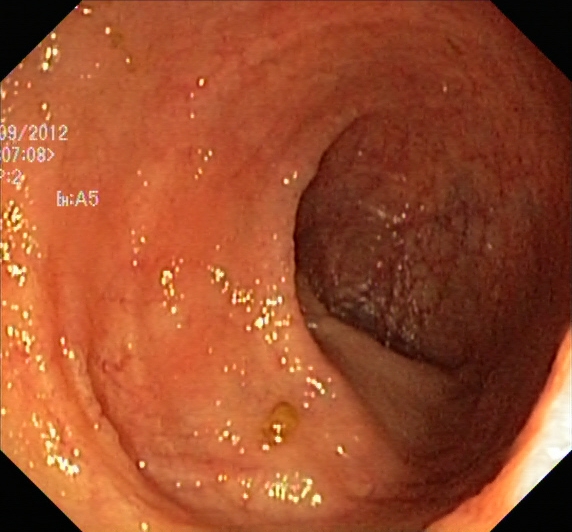PROCEDURE: Lower gastrointestinal endoscopy.
CATEGORY: Pathological finding.
FINDINGS: Ulcerative colitis, Mayo endoscopic subscore 1.